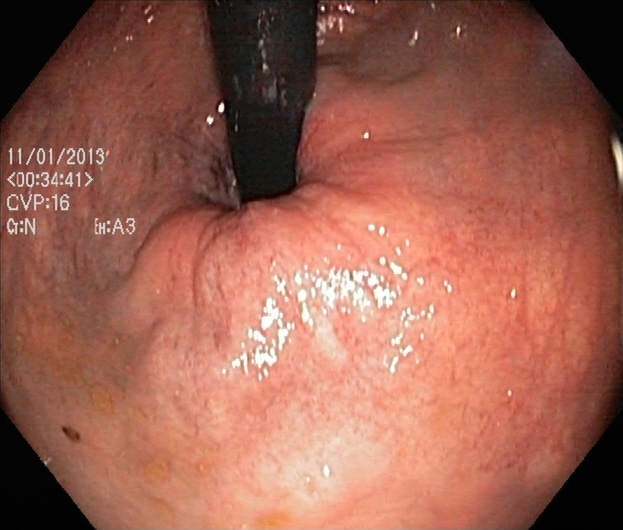This endoscopic image shows rectum in retroflexion.